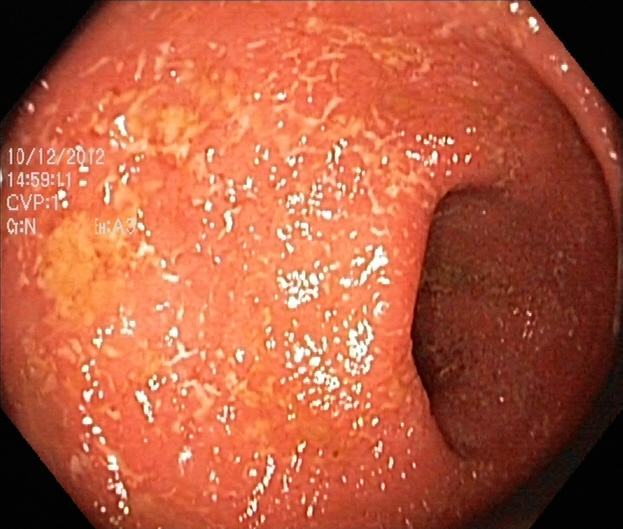Lower gastrointestinal endoscopy. Pathological finding. Finding: ulcerative colitis, Mayo endoscopic subscore 2.